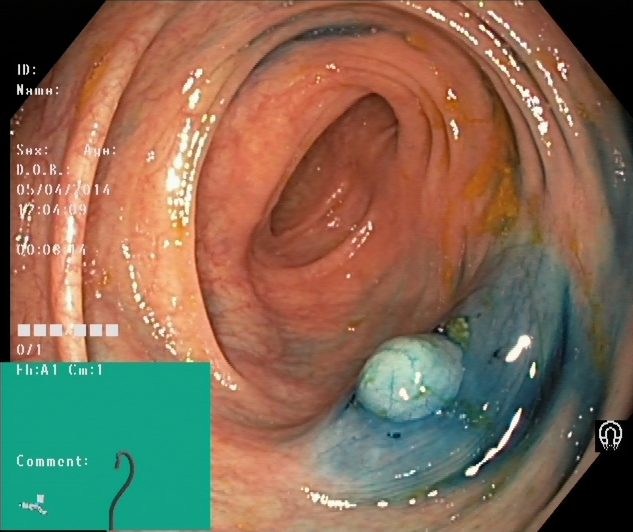Lower-GI endoscopy. Tract: lower GI tract. Finding: dyed and lifted polyp (pre-resection).